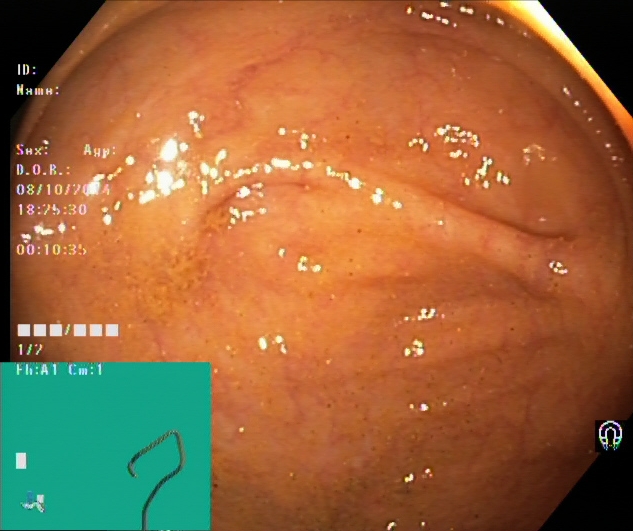Lower gastrointestinal endoscopy. Finding: cecum.